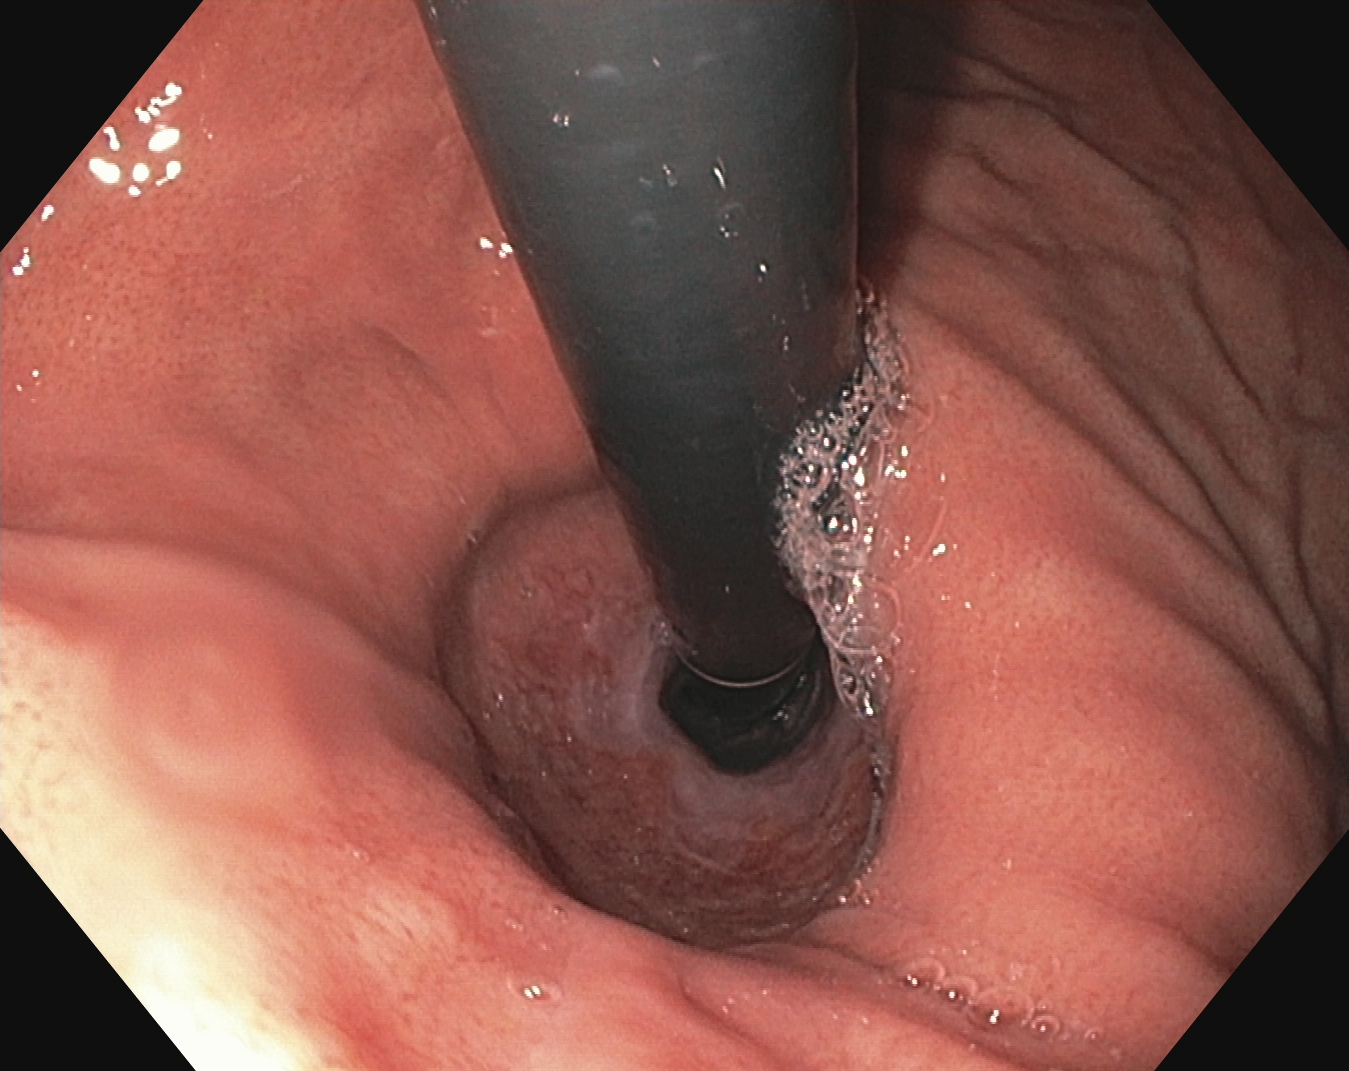Gastroscopy. Tract: upper GI tract. Finding: stomach in retroflexion.